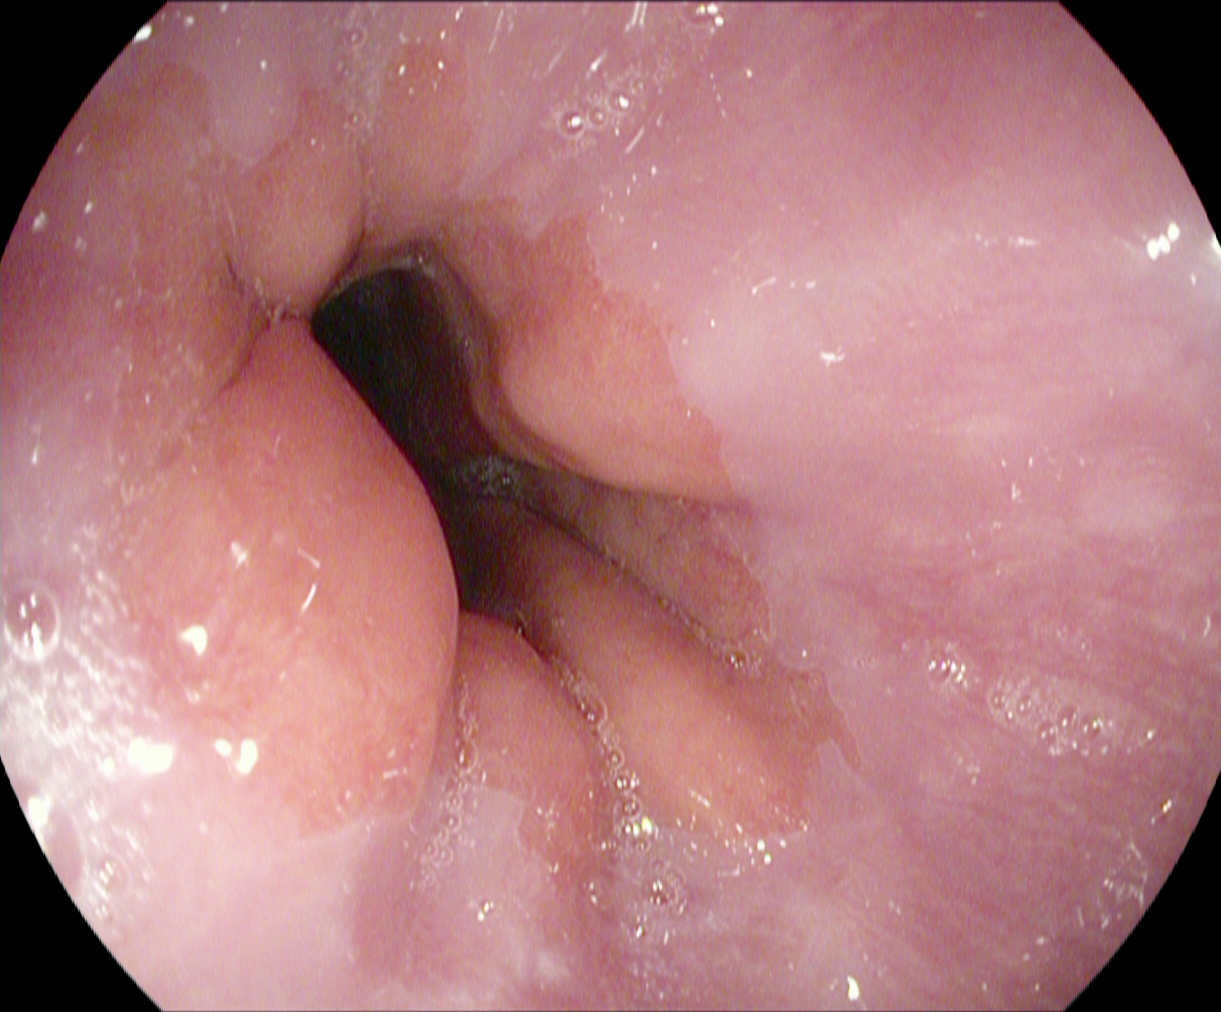Z-line (gastroesophageal junction).